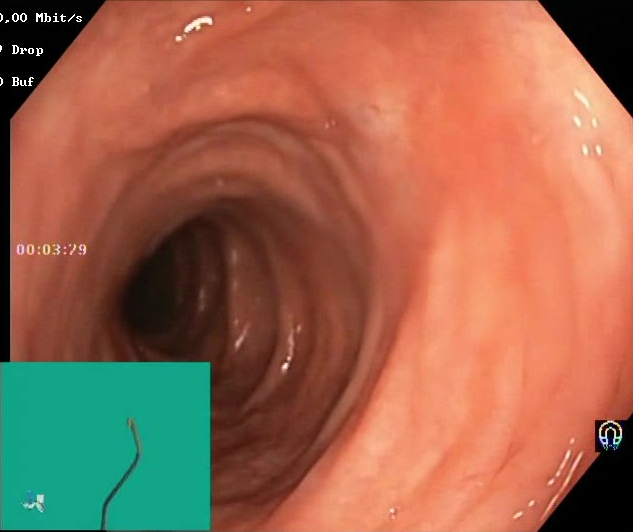This endoscopic image shows Boston Bowel Preparation Scale score 2–3 (adequate preparation).